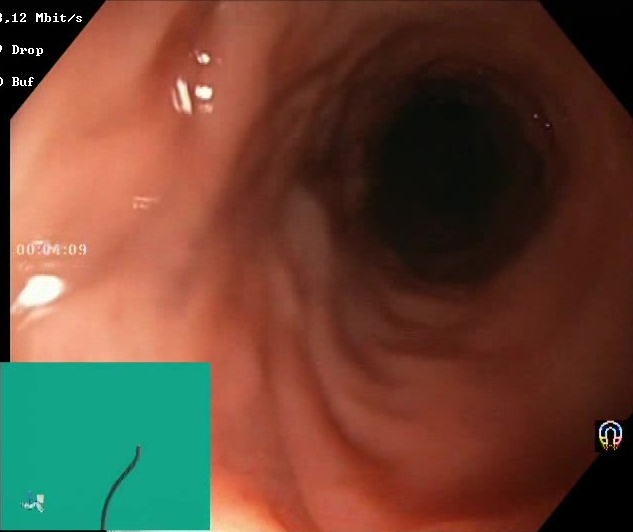PROCEDURE: Lower-GI endoscopy.
FINDINGS: BBPS score 2–3 (adequate preparation).